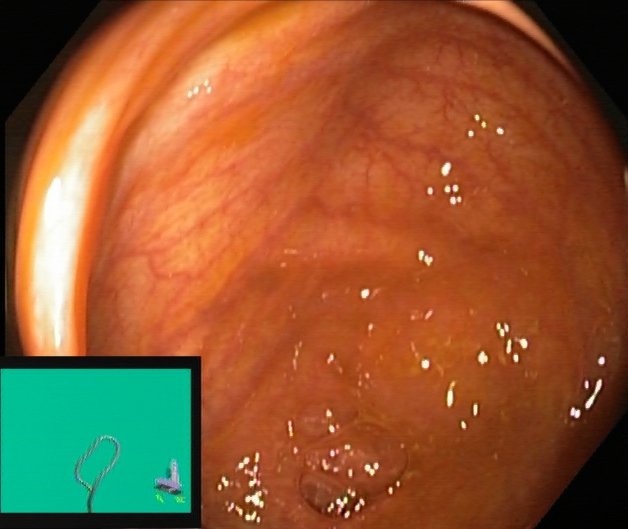cecum.